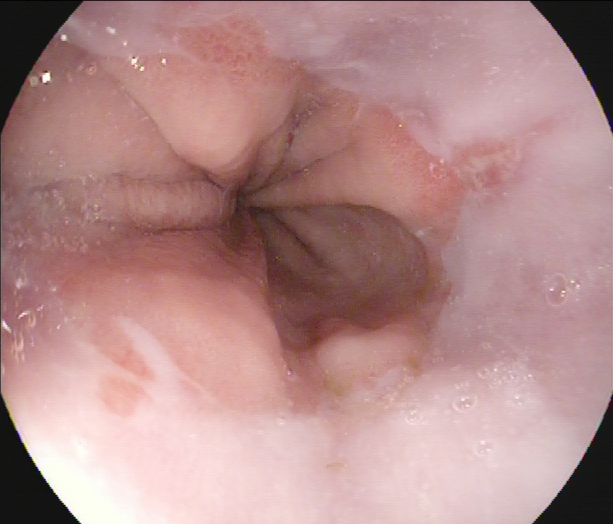Reflux esophagitis, LA grade A.